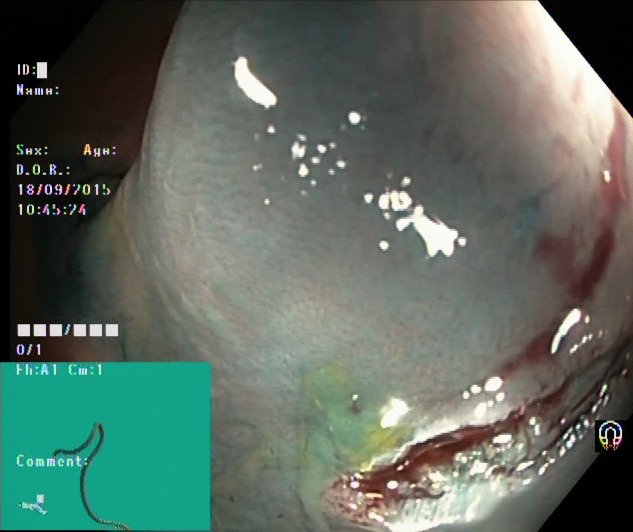PROCEDURE: Colonoscopy.
FINDINGS: Dyed resection margins (post-polypectomy).